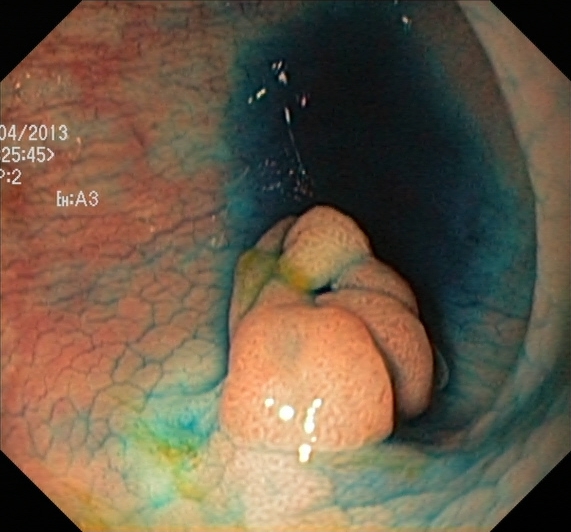This endoscopic image of the lower GI tract shows dyed and lifted polyp (pre-resection).